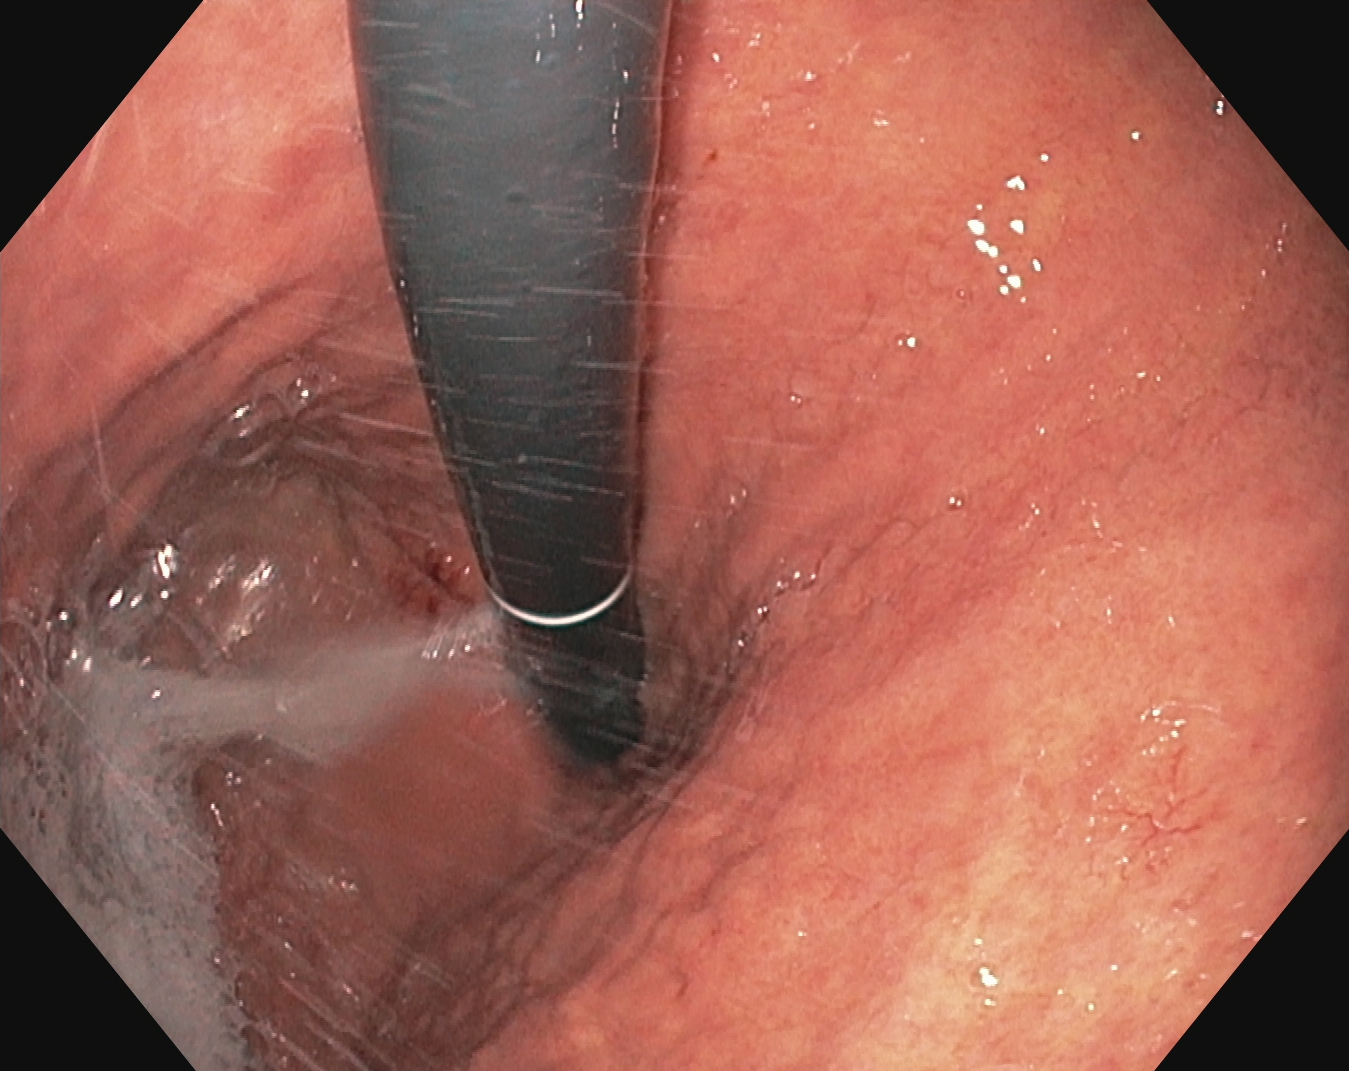EGD image of the upper GI tract showing stomach in retroflexion.